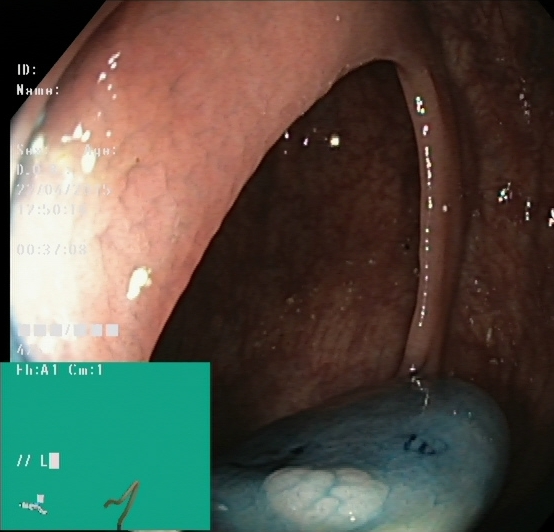PROCEDURE: Colonoscopy.
CATEGORY: Therapeutic intervention.
FINDINGS: Dyed and lifted polyp (pre-resection).